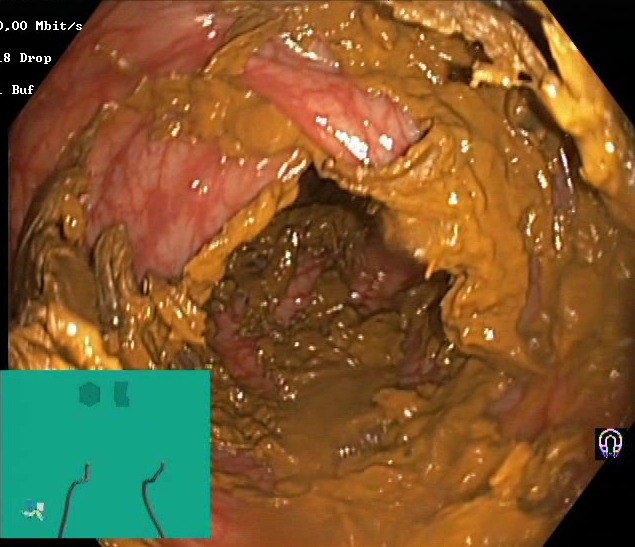Gastrointestinal endoscopy image showing Boston Bowel Preparation Scale score 0–1 (inadequate preparation).